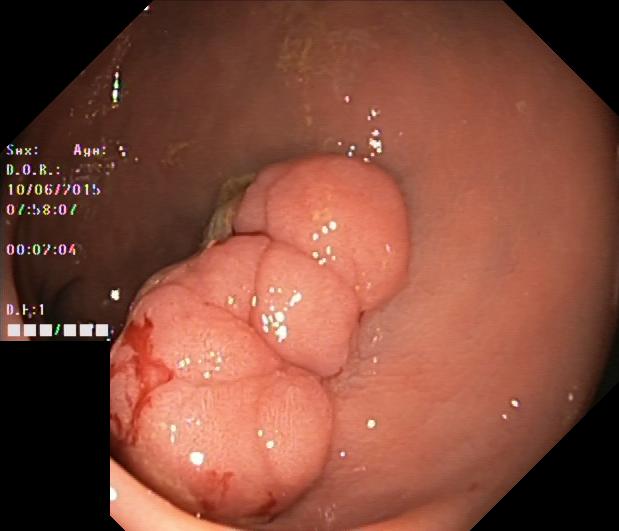Colonoscopy image of the lower GI tract showing colorectal polyp(s).